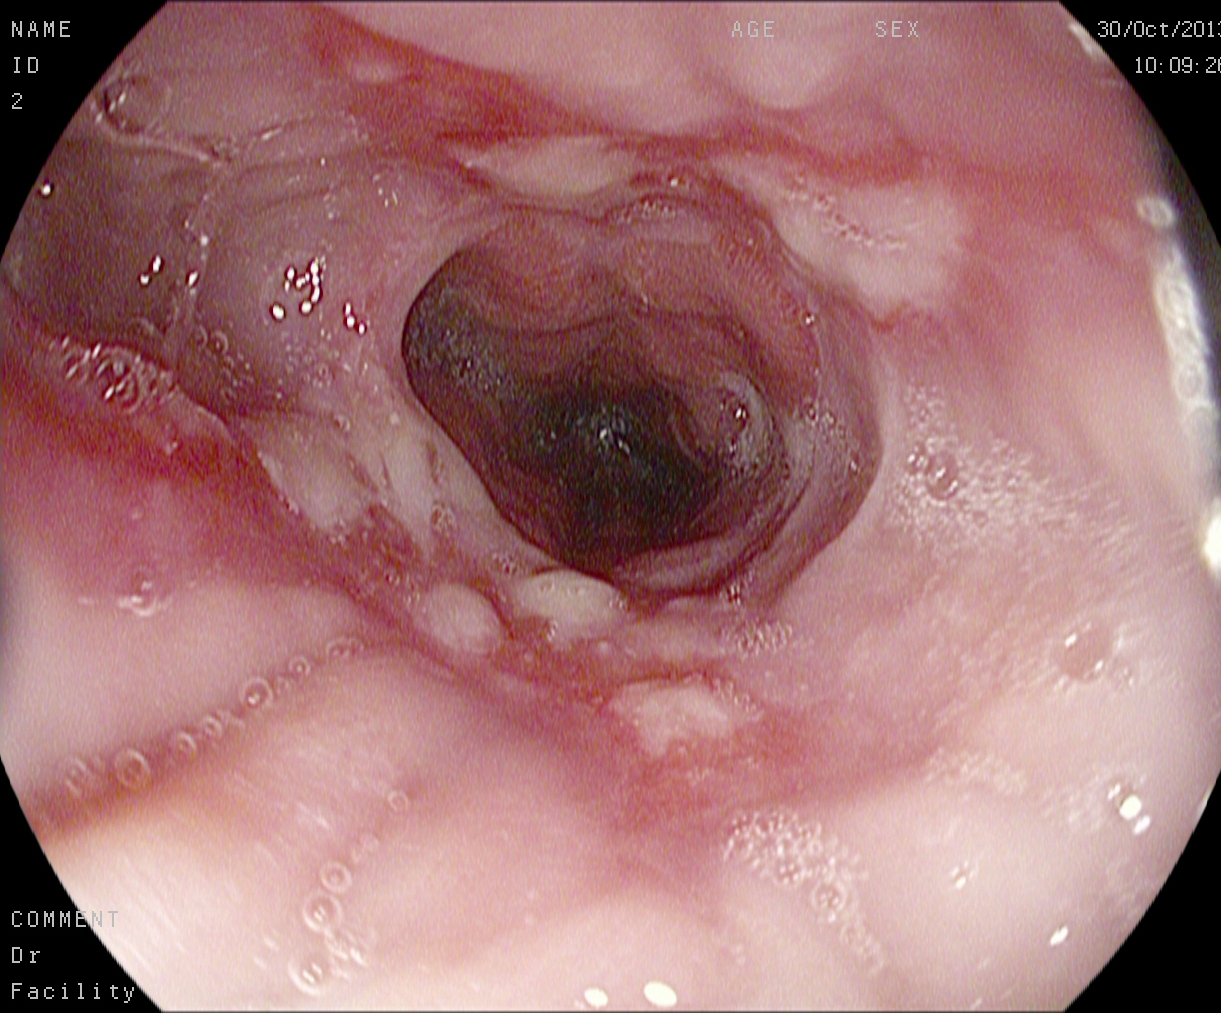This endoscopic image shows reflux esophagitis, Los Angeles grade B–D.